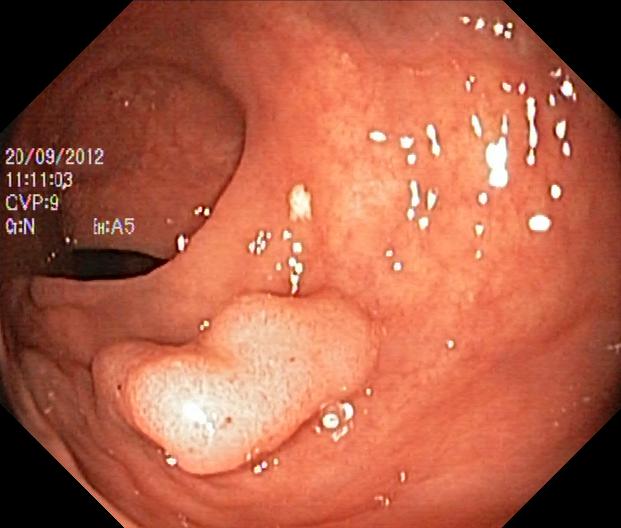Colonoscopy image showing colorectal polyp(s).